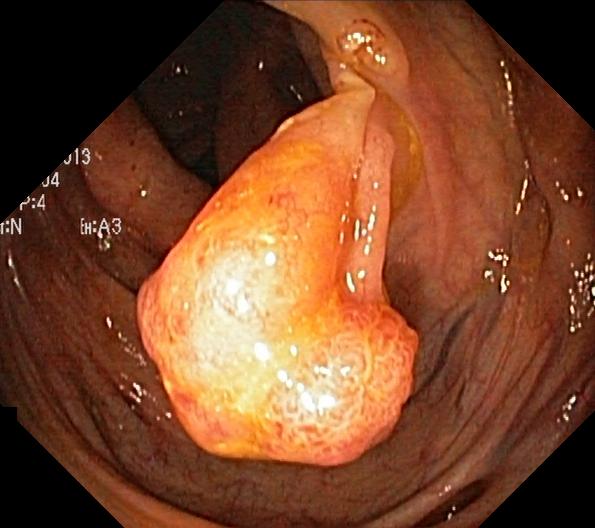Lower gastrointestinal endoscopy. Tract: lower GI tract. Finding: colorectal polyp(s).